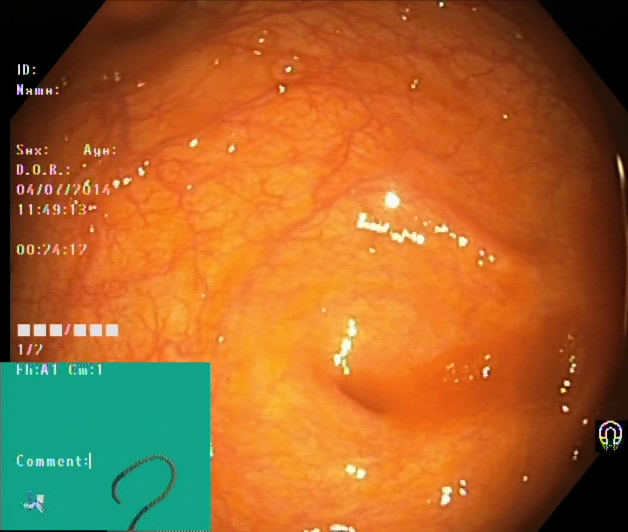modality: lower gastrointestinal endoscopy
tract: lower GI tract
finding: cecum